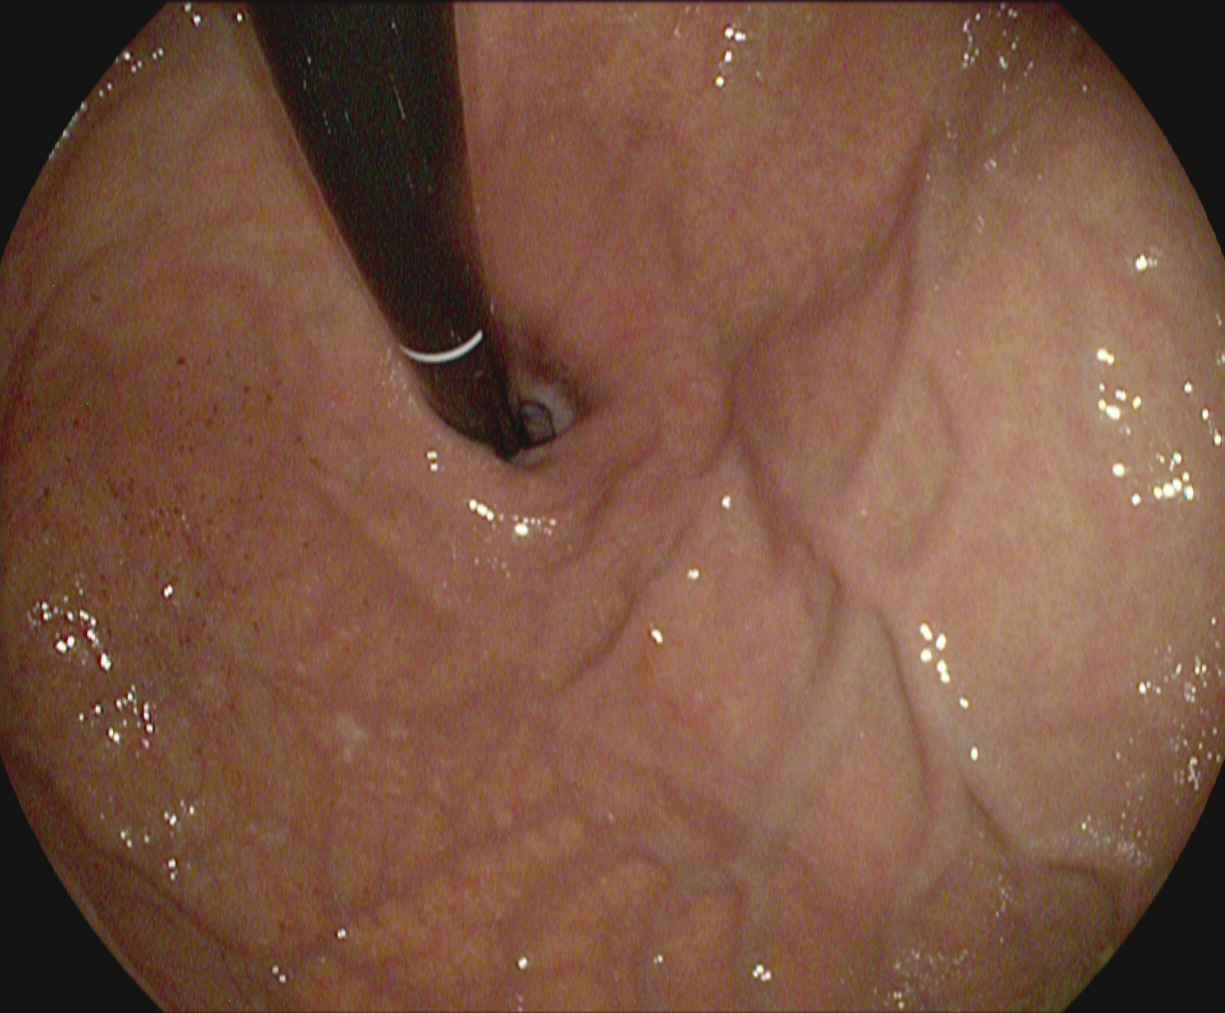{"modality": "gastroscopy", "tract": "upper GI tract", "category": "anatomical landmark", "finding": "stomach in retroflexion"}